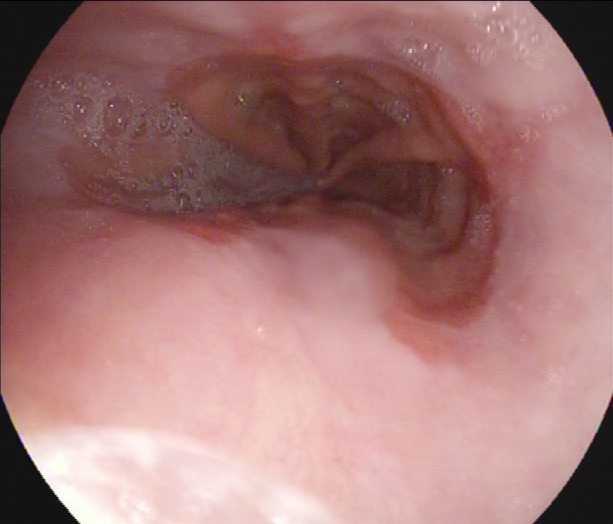reflux esophagitis, LA grade A.